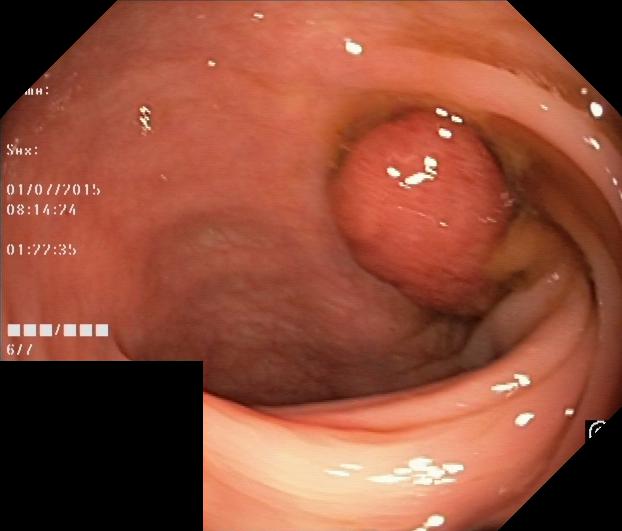Colorectal polyp(s).